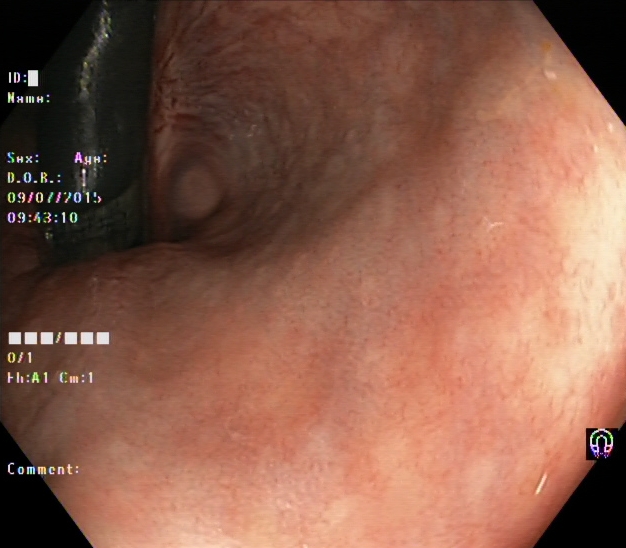rectum in retroflexion.